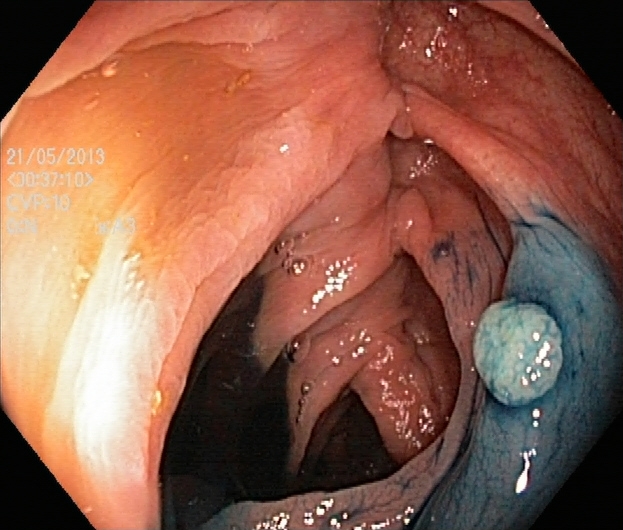modality: colonoscopy | tract: lower GI tract | finding: dyed and lifted polyp (pre-resection)